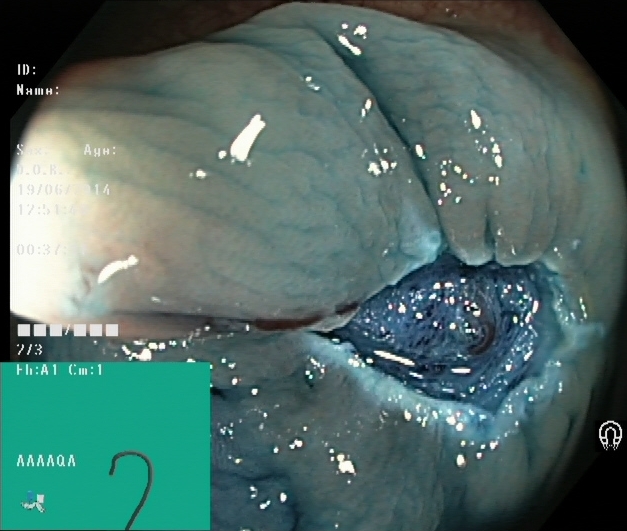Dyed resection margins (post-polypectomy).